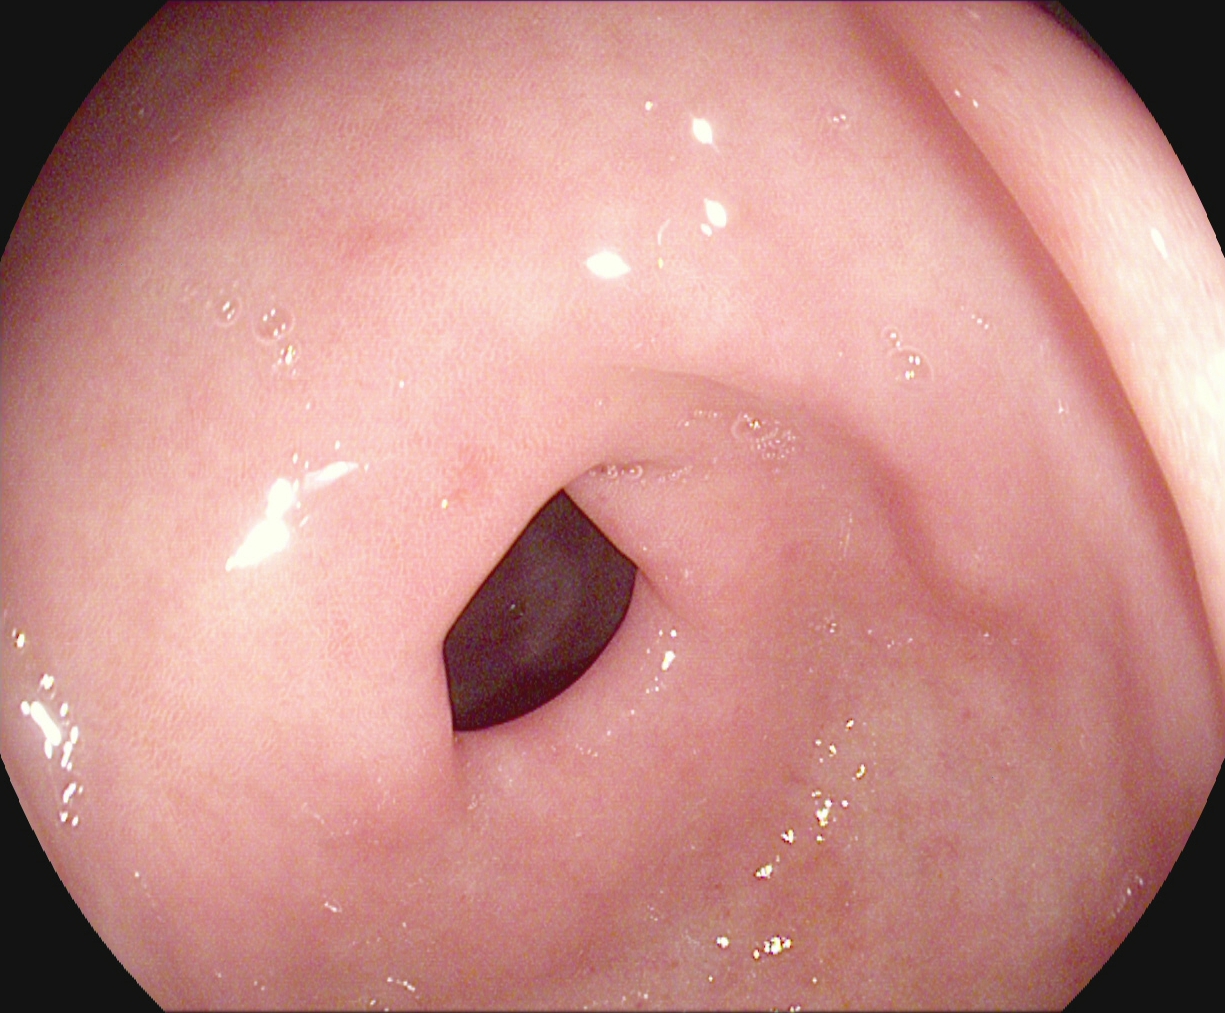modality: gastroscopy
finding: pylorus